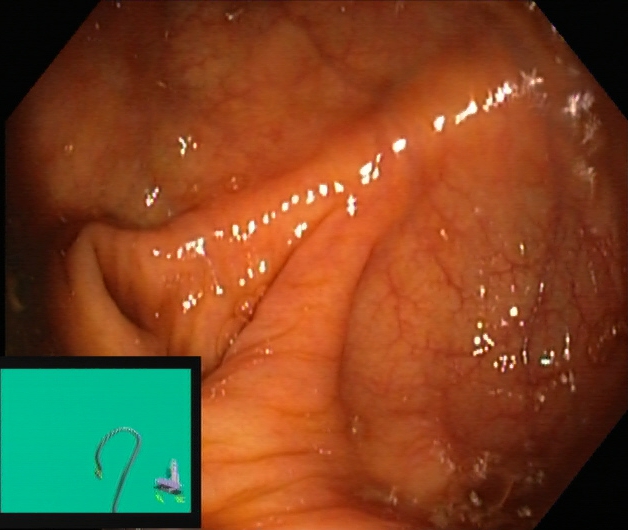cecum.